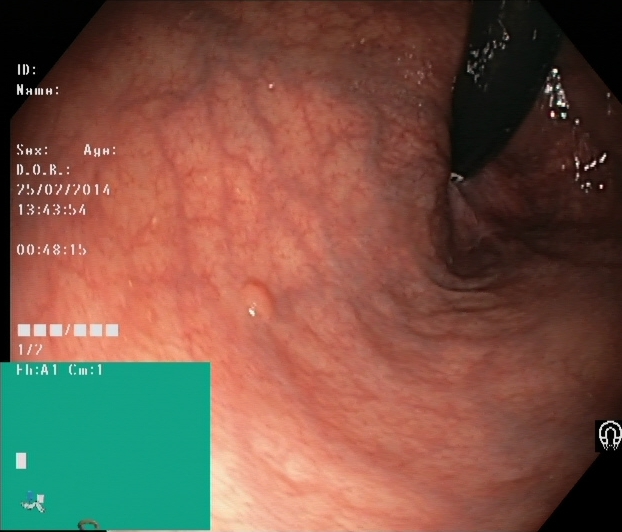modality: lower gastrointestinal endoscopy; finding: colorectal polyp(s)